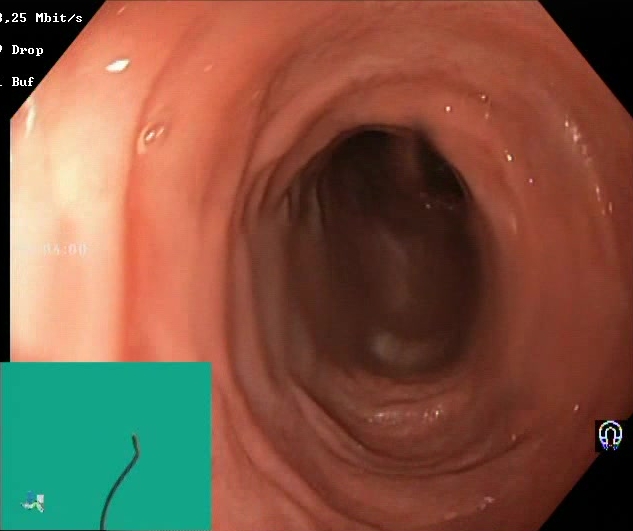GI endoscopy image of the lower GI tract showing BBPS score 2–3 (adequate preparation).